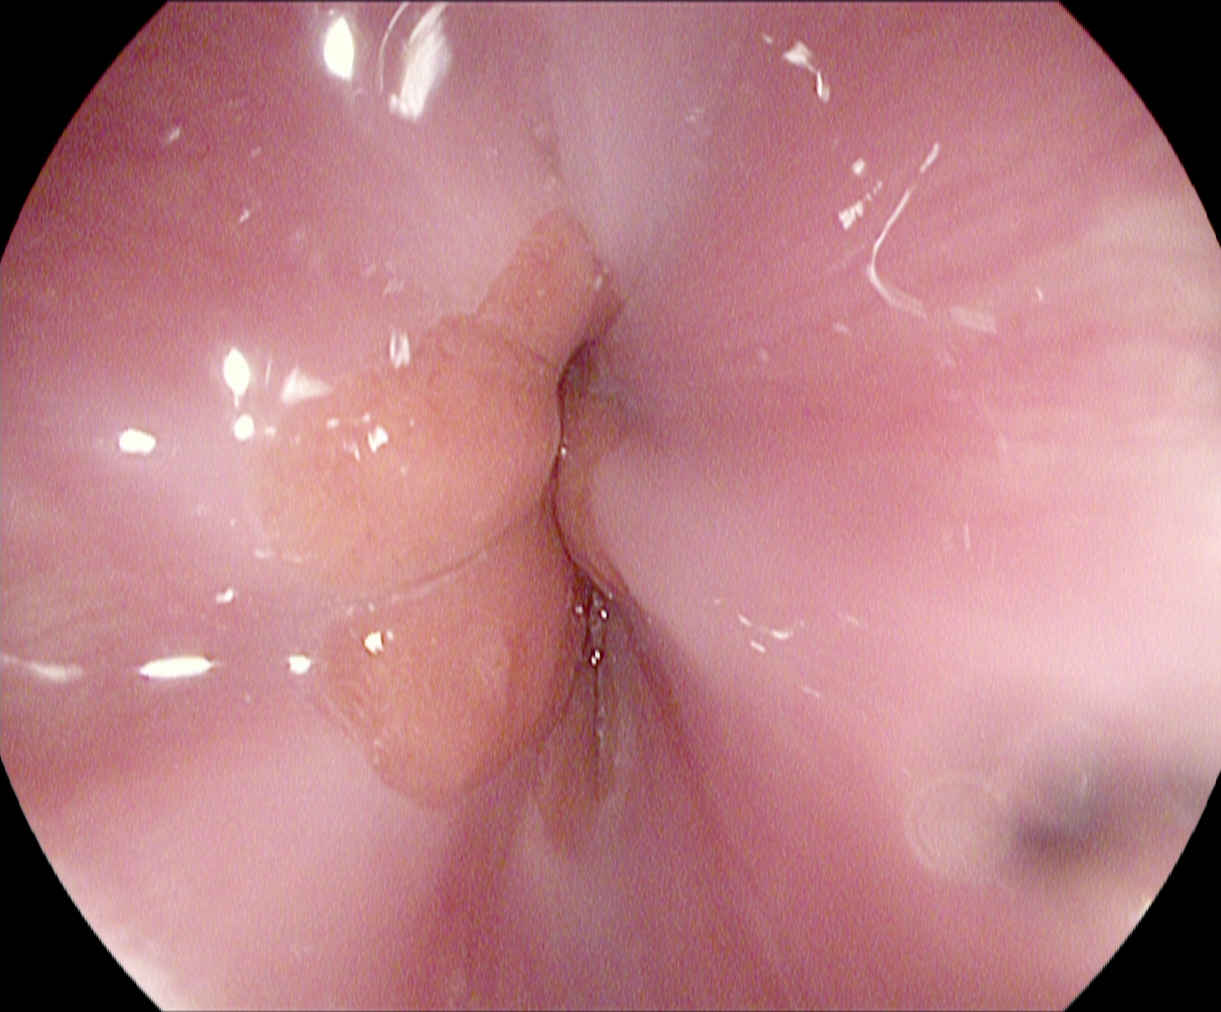Upper-GI endoscopy. Anatomical landmark. Finding: Z-line (gastroesophageal junction).